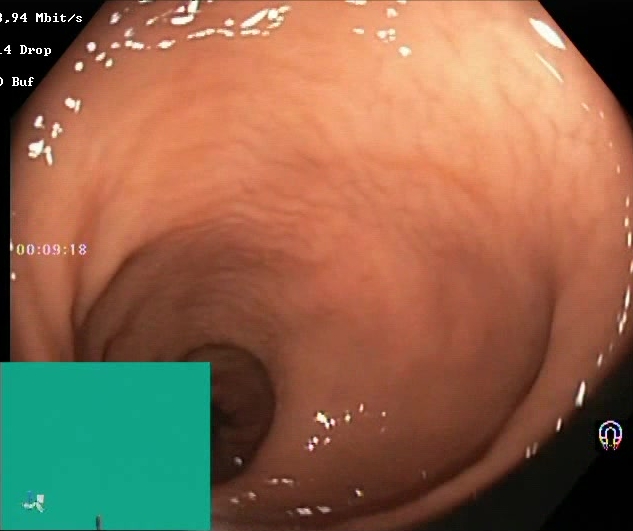Colonoscopy. Finding: Boston Bowel Preparation Scale score 2–3 (adequate preparation).